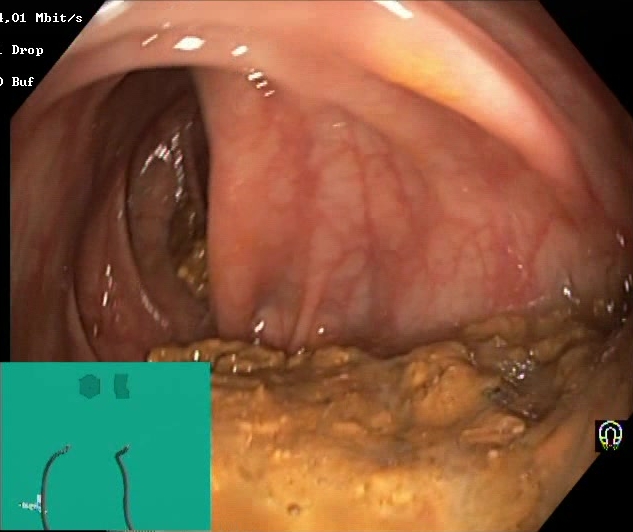This endoscopic image of the lower GI tract shows BBPS score 0–1 (inadequate preparation).